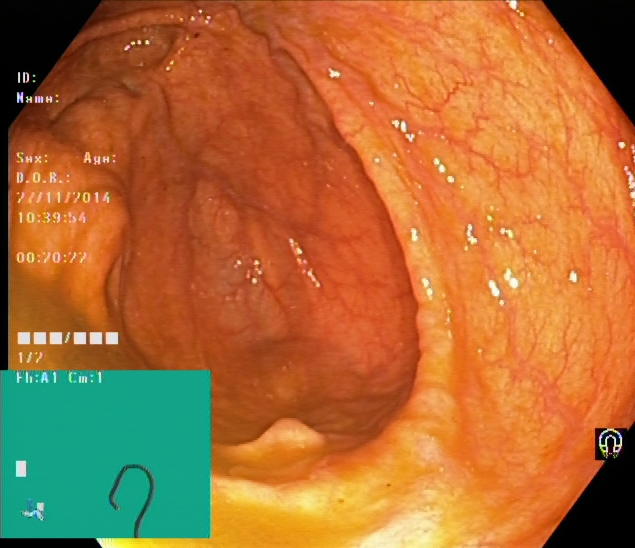This endoscopic image shows cecum.